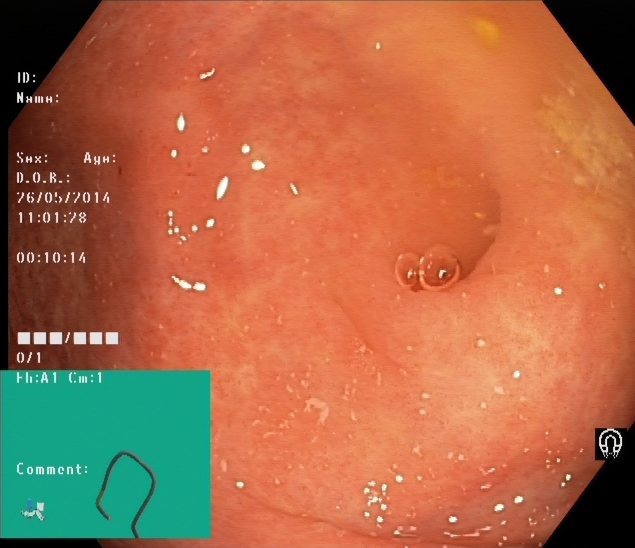Lower gastrointestinal endoscopy. Tract: lower GI tract. Finding: cecum.